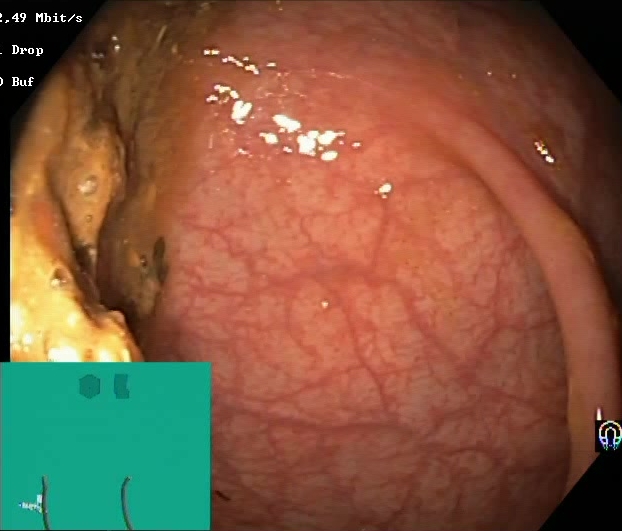PROCEDURE: Lower-GI endoscopy.
FINDINGS: Boston Bowel Preparation Scale score 0–1 (inadequate preparation).